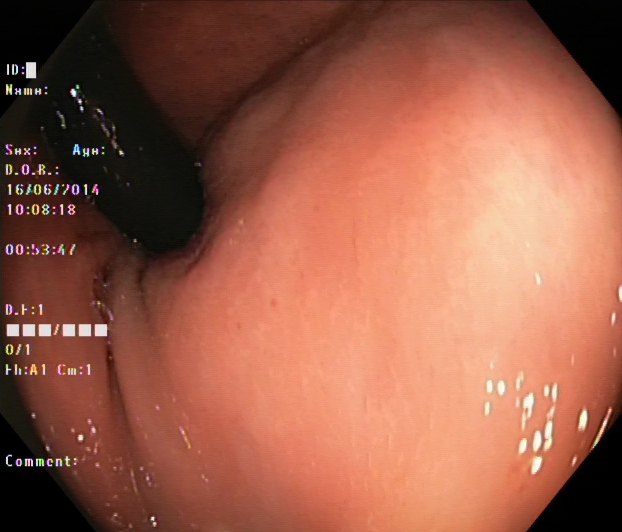PROCEDURE: Lower-GI endoscopy.
CATEGORY: Anatomical landmark.
FINDINGS: Rectum in retroflexion.